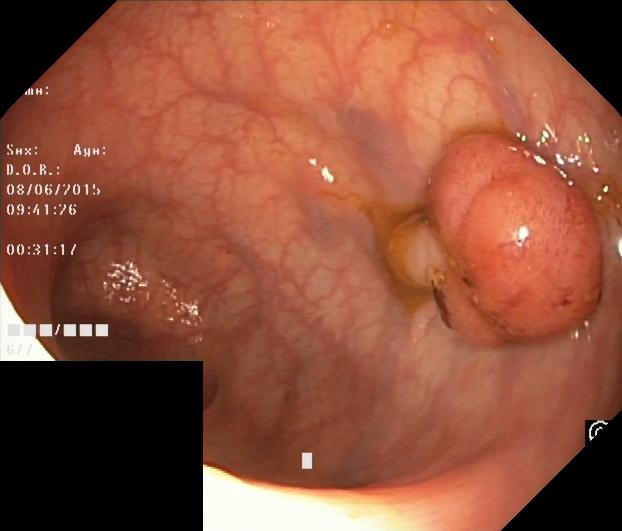Colonoscopy — colorectal polyp(s).